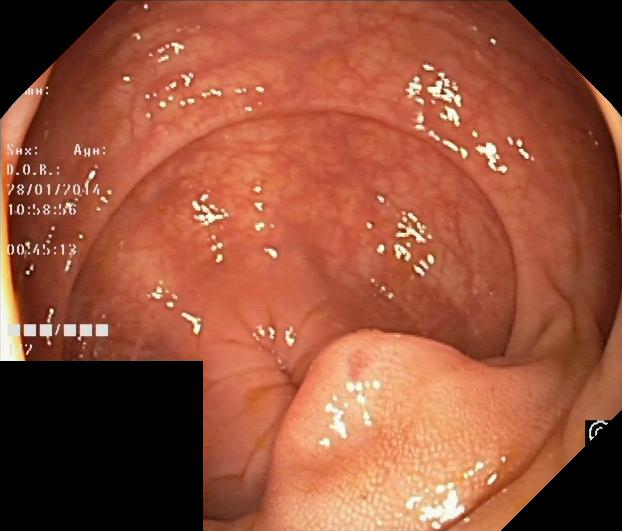Colorectal polyp(s).